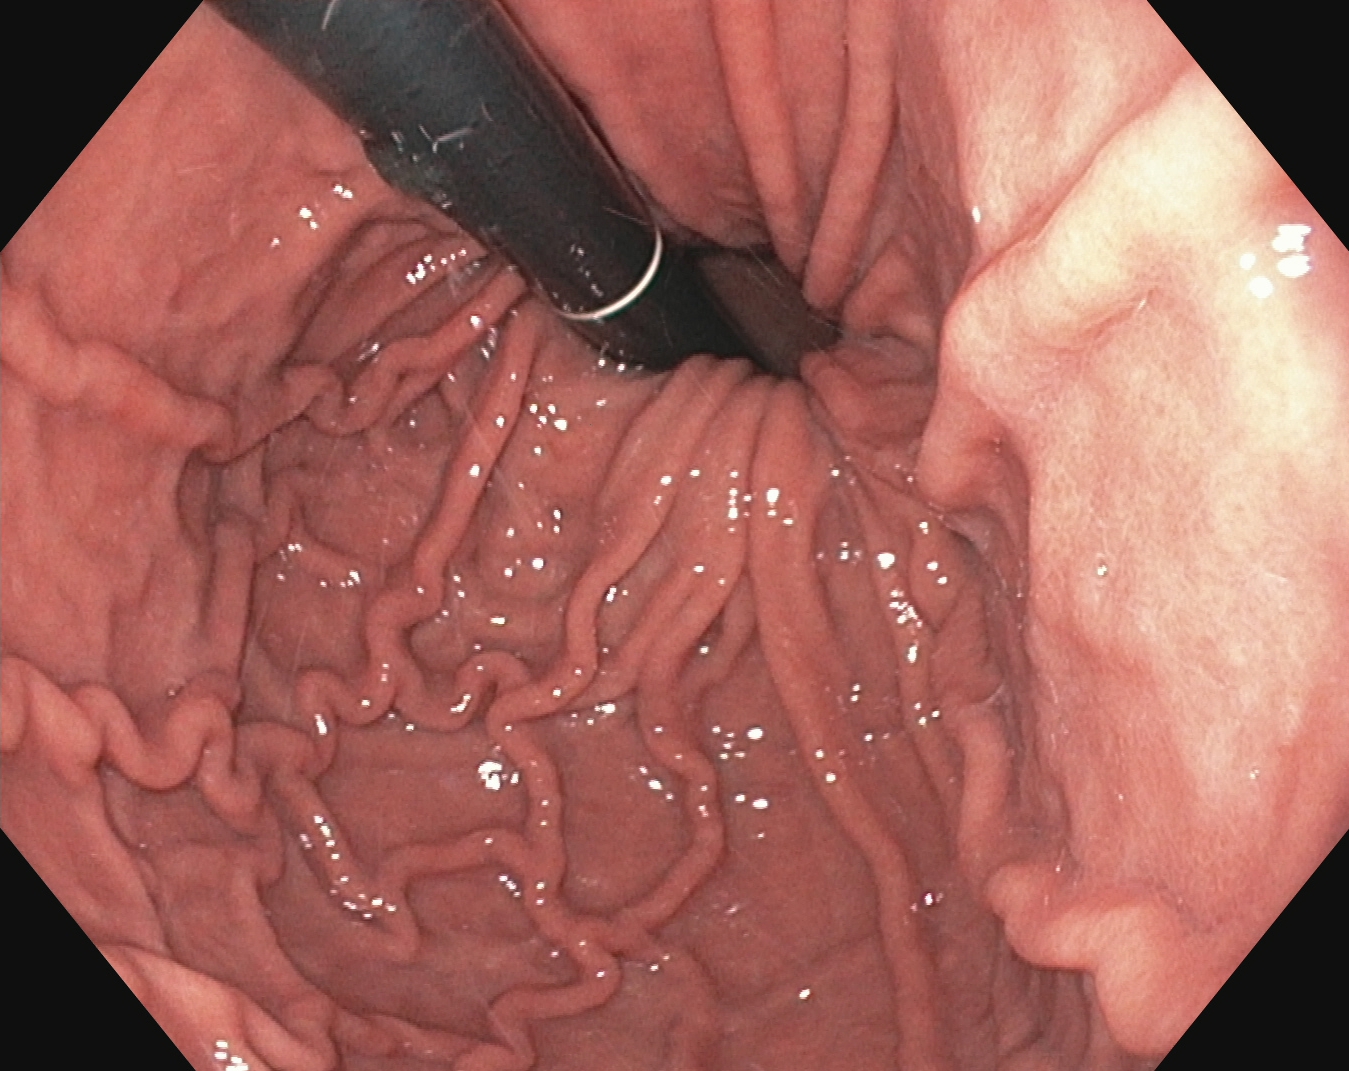modality: esophagogastroduodenoscopy
category: anatomical landmark
finding: stomach in retroflexion